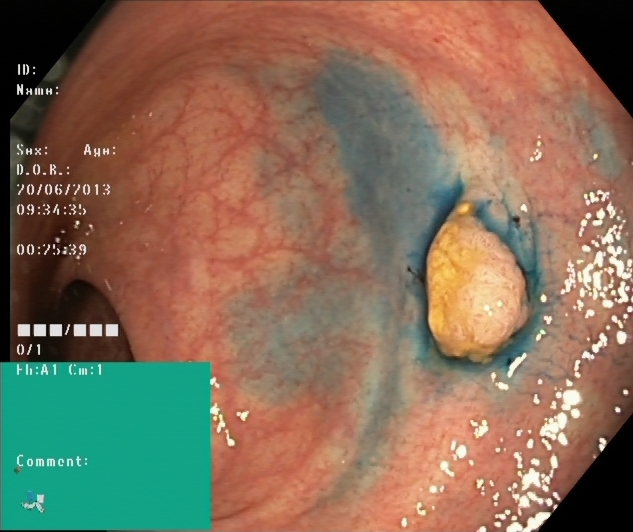Endoscopic frame of the lower GI tract showing dyed and lifted polyp (pre-resection).